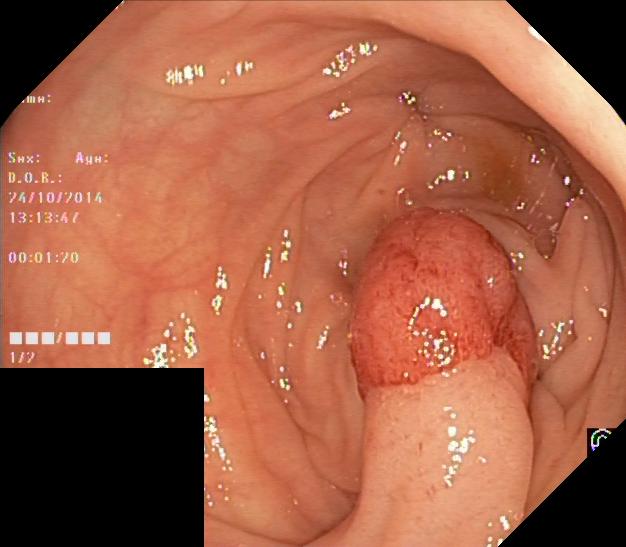Endoscopic image of the lower GI tract showing colorectal polyp(s).